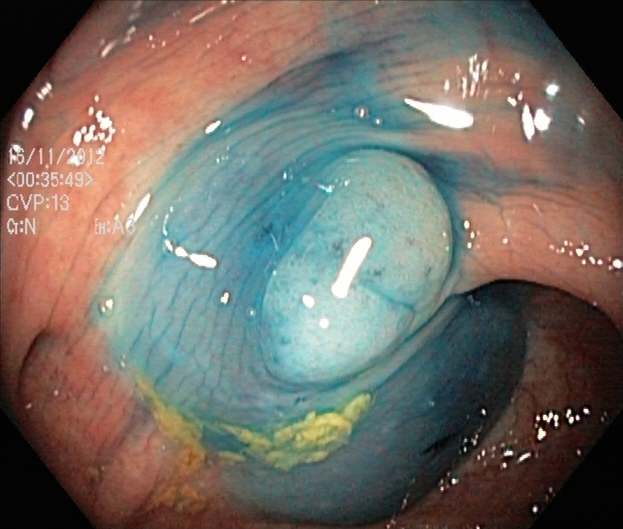{"modality": "lower gastrointestinal endoscopy", "tract": "lower GI tract", "finding": "dyed and lifted polyp (pre-resection)"}